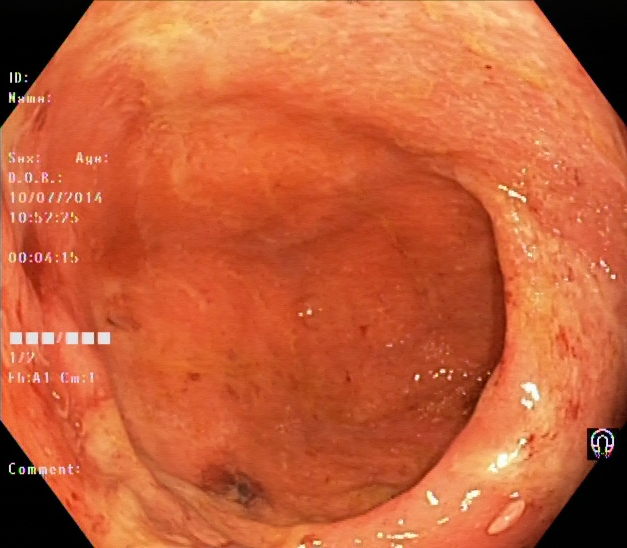Ulcerative colitis, Mayo endoscopic subscore 2.